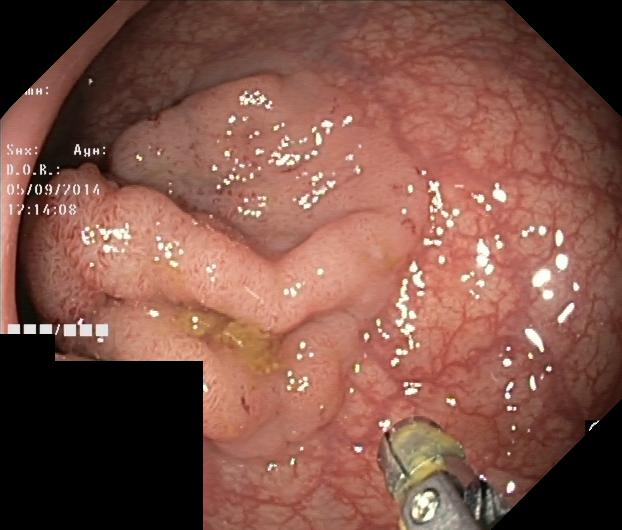Lower-GI endoscopy. Tract: lower GI tract. Pathological finding. Finding: colorectal polyp(s).